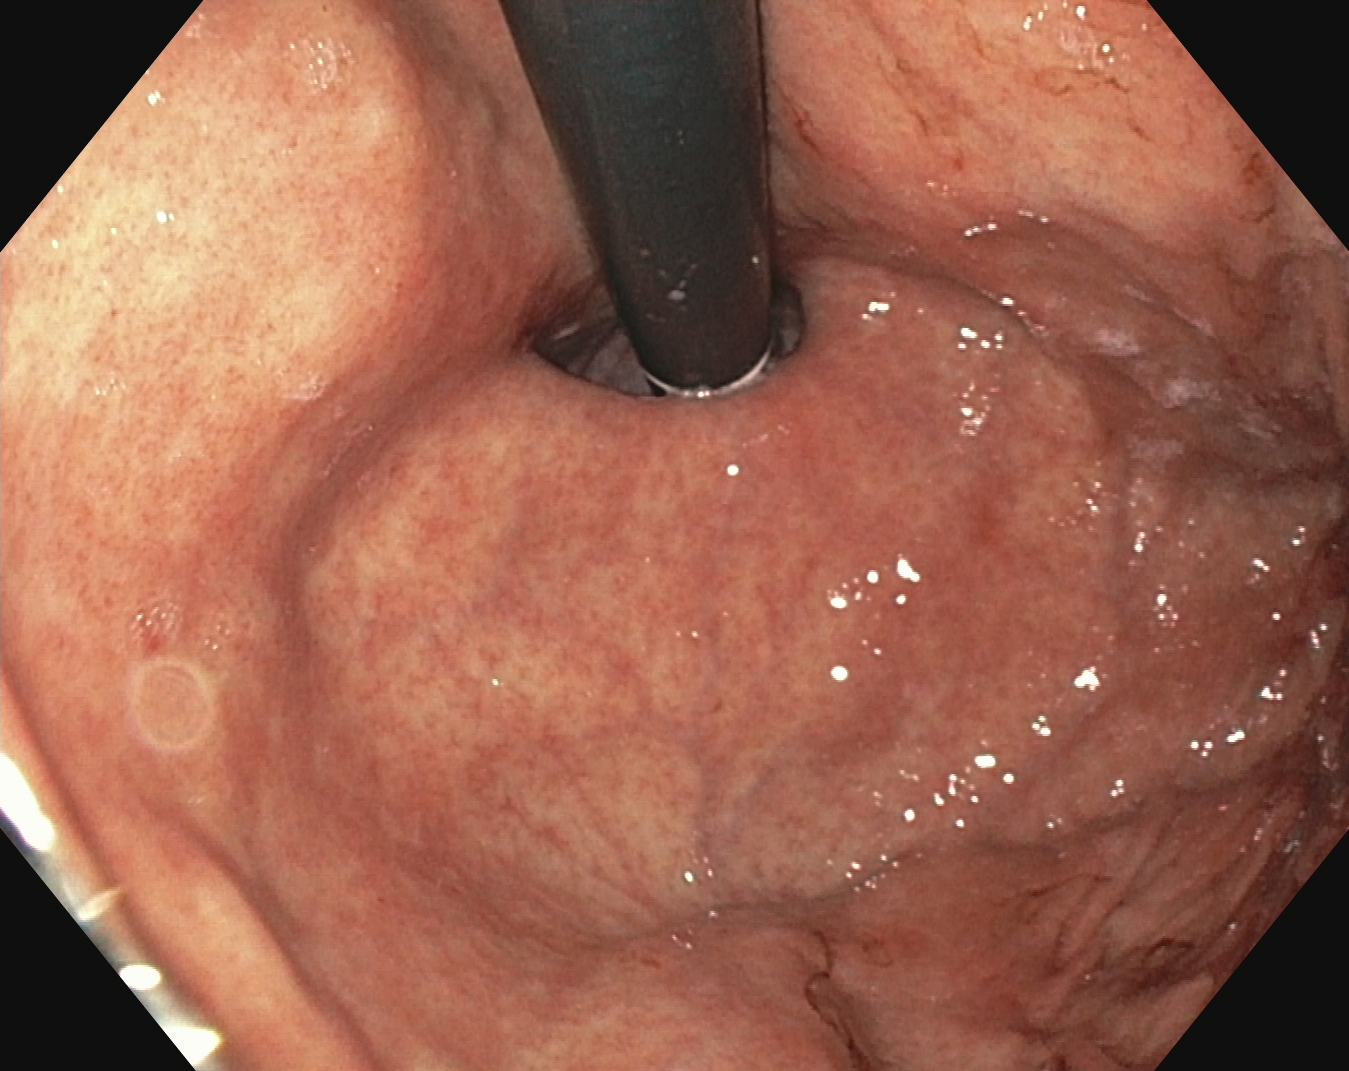Gastroscopy image showing stomach in retroflexion.